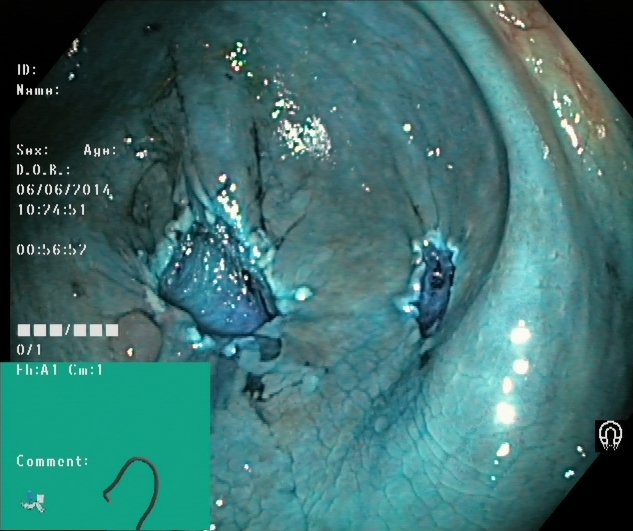Lower gastrointestinal endoscopy. Tract: lower GI tract. Therapeutic intervention. Finding: dyed resection margins (post-polypectomy).